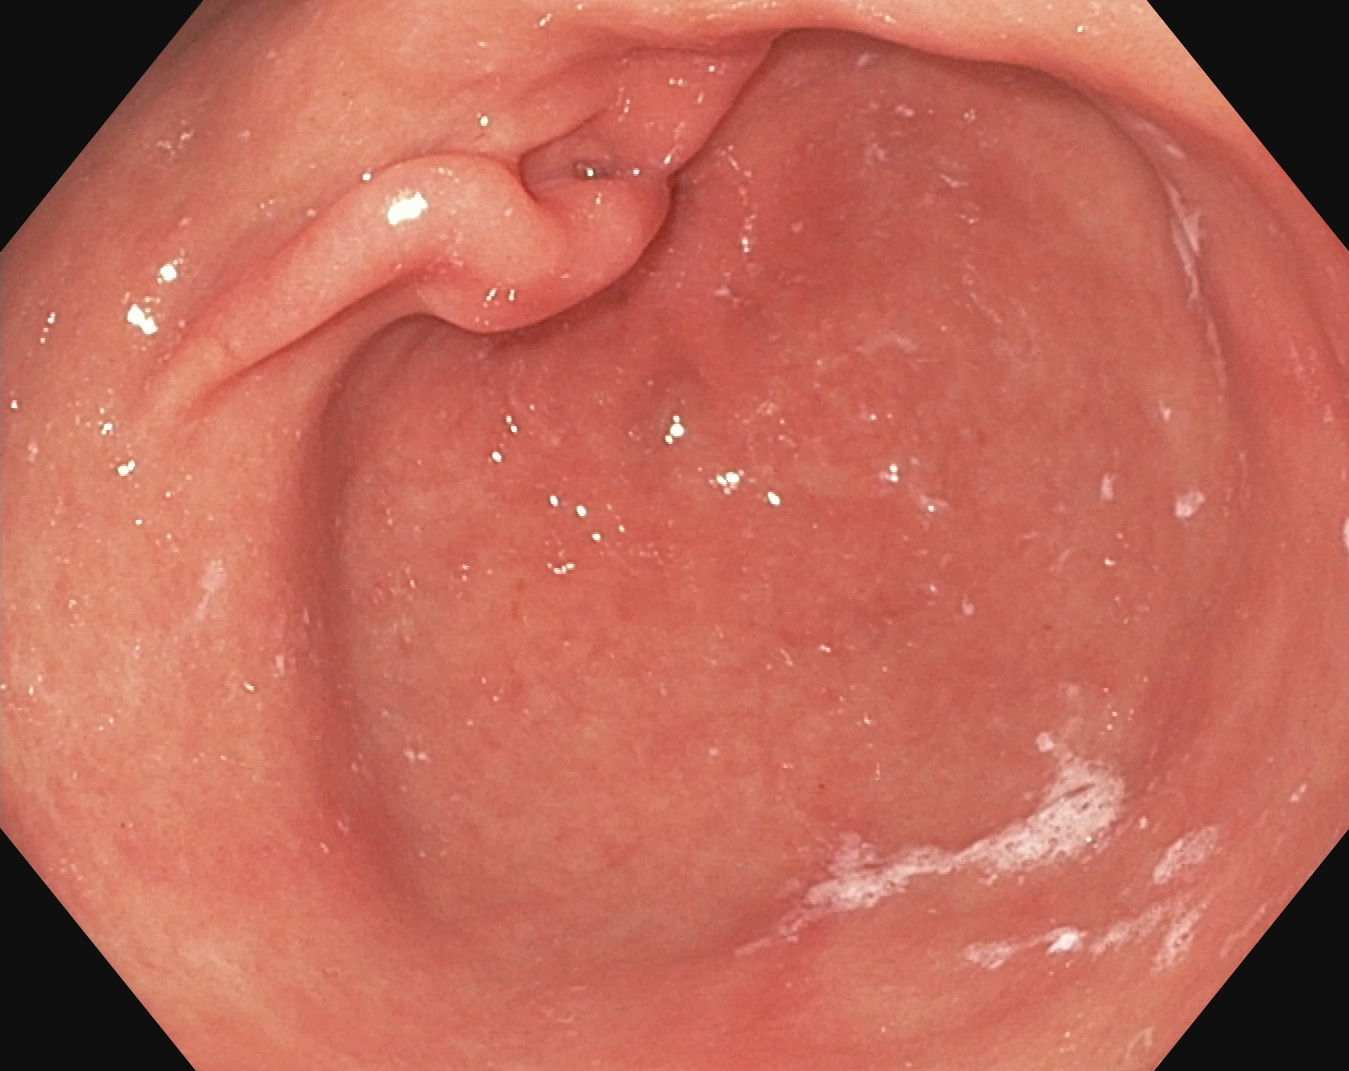{"modality": "upper-GI endoscopy", "category": "anatomical landmark", "finding": "pylorus"}